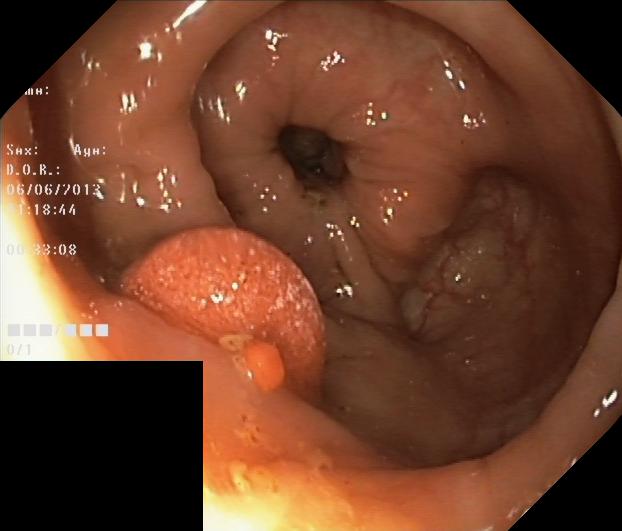Endoscopy image showing colorectal polyp(s).